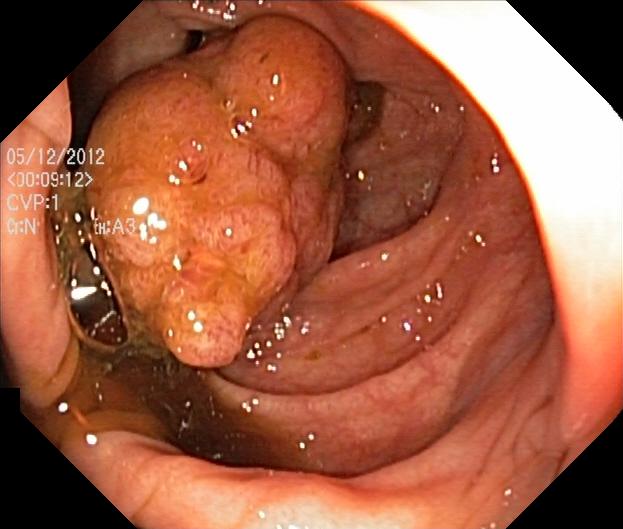This endoscopy frame of the lower GI tract shows colorectal polyp(s).